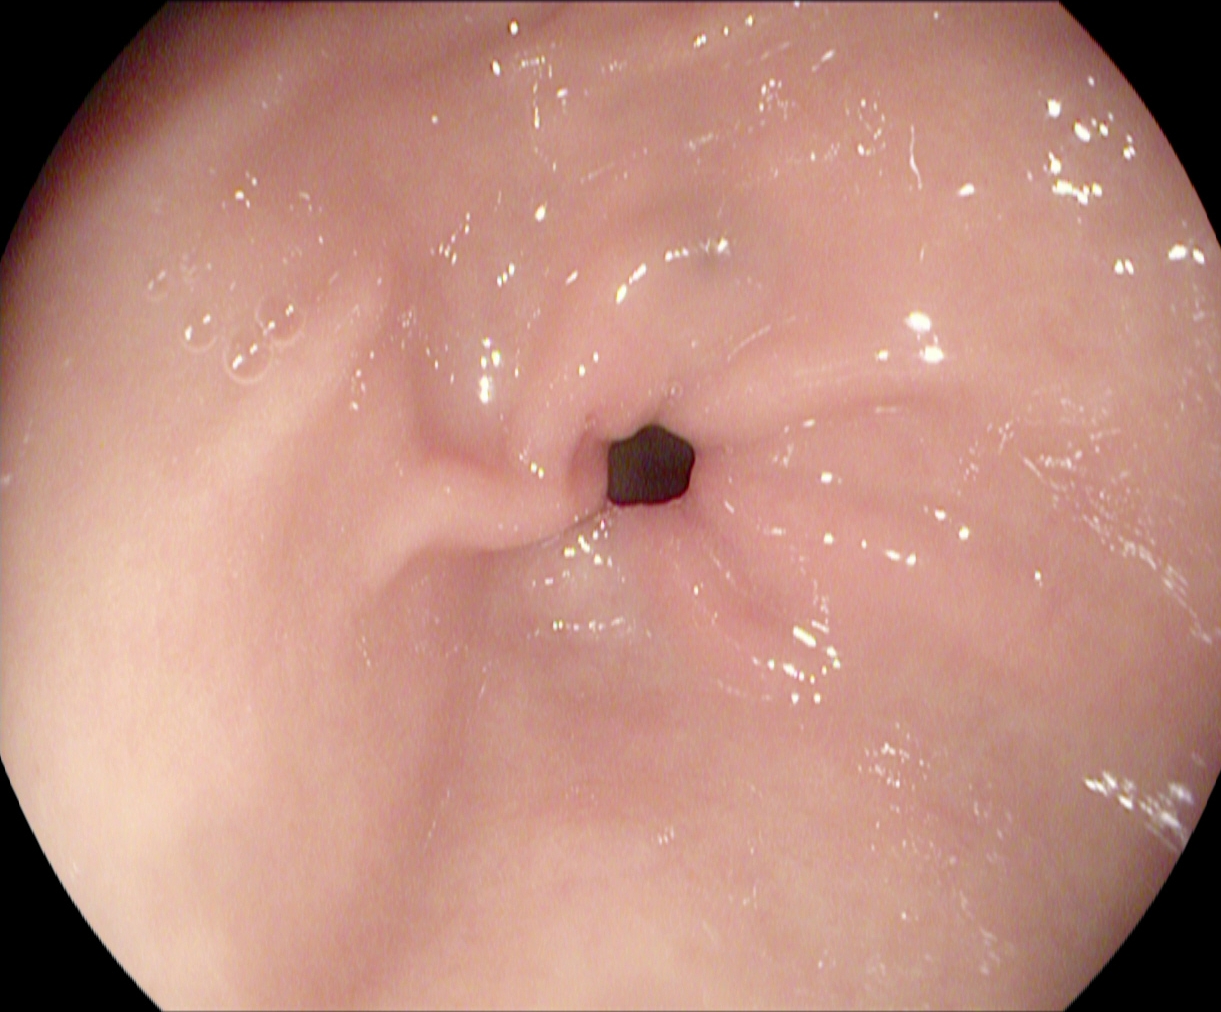EGD. Finding: pylorus.